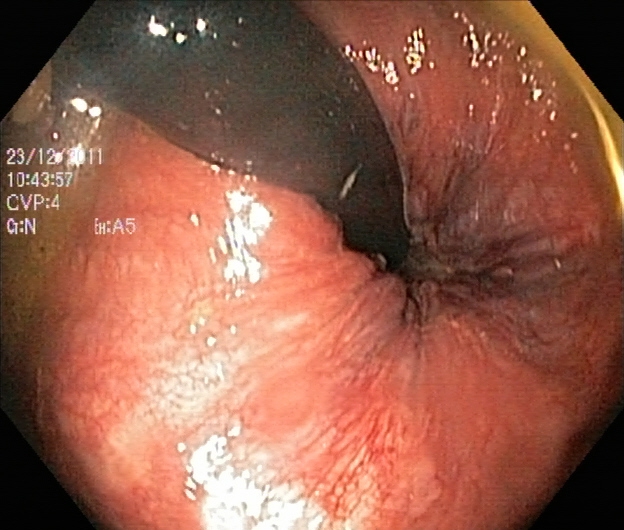Lower gastrointestinal endoscopy image of the lower GI tract showing rectum in retroflexion.